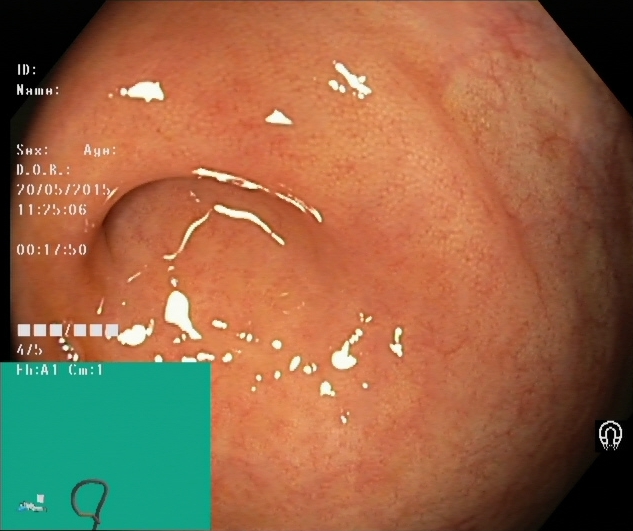Cecum.